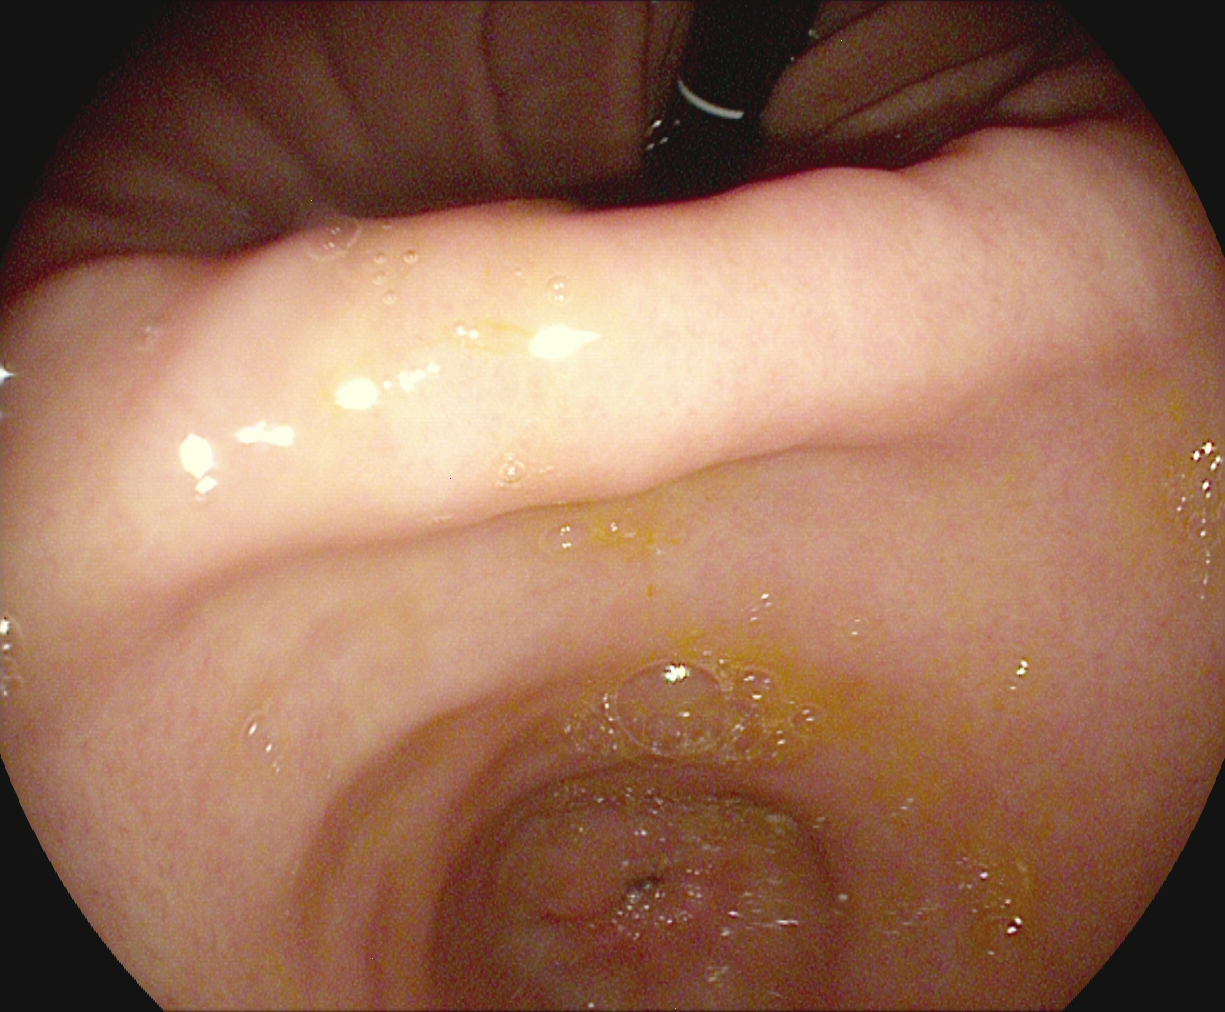{"modality": "EGD", "tract": "upper GI tract", "category": "anatomical landmark", "finding": "pylorus"}